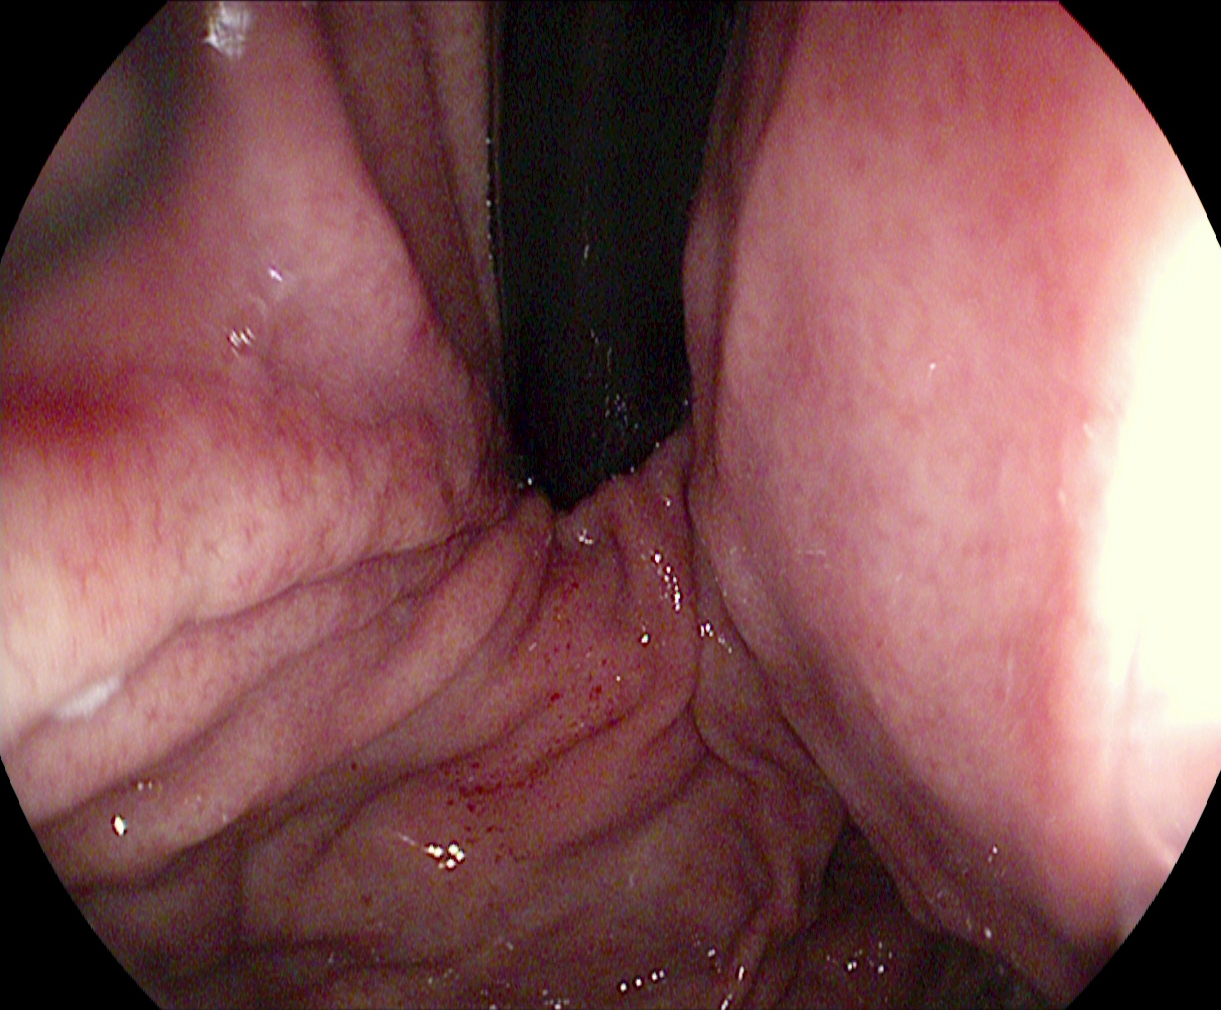{"modality": "esophagogastroduodenoscopy", "tract": "upper GI tract", "finding": "stomach in retroflexion"}